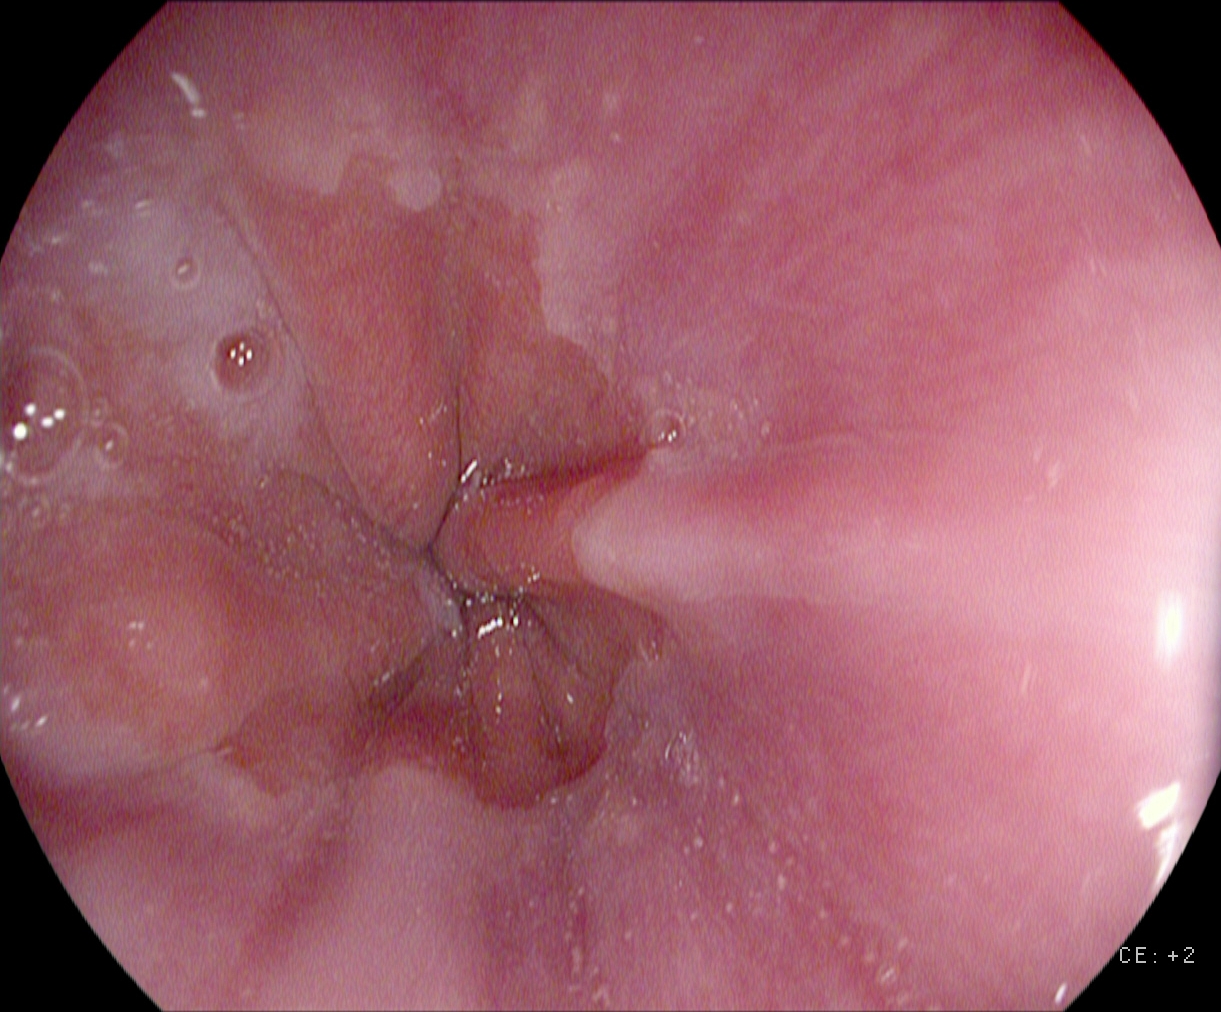{"modality": "upper-GI endoscopy", "finding": "Z-line (gastroesophageal junction)"}